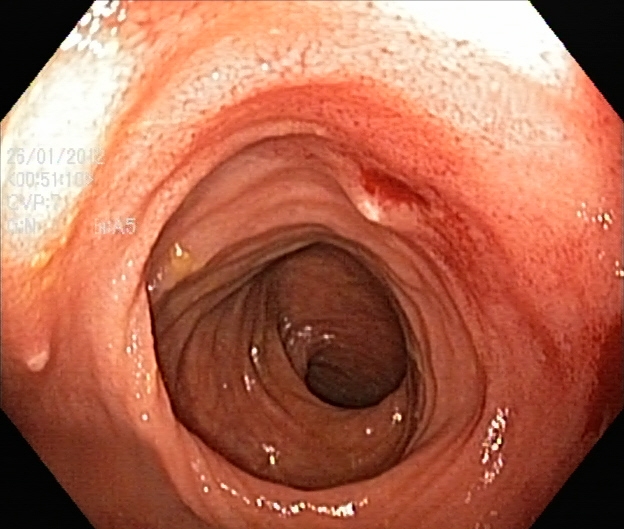Lower gastrointestinal endoscopy — ulcerative colitis, Mayo endoscopic subscore 1.